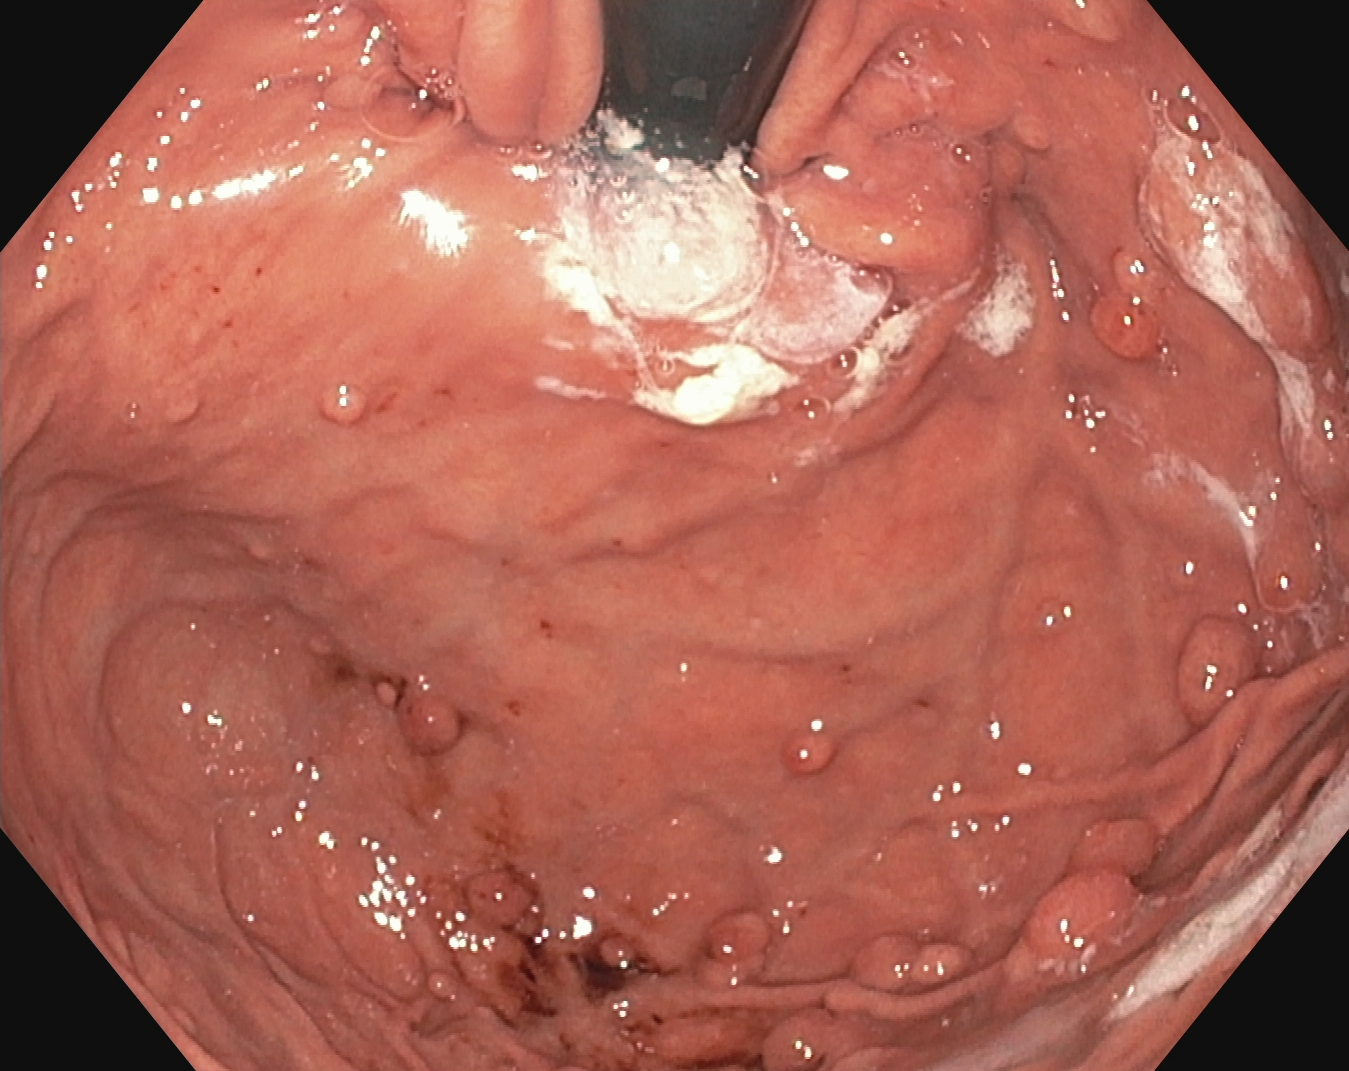Gastrointestinal endoscopy image showing stomach in retroflexion.